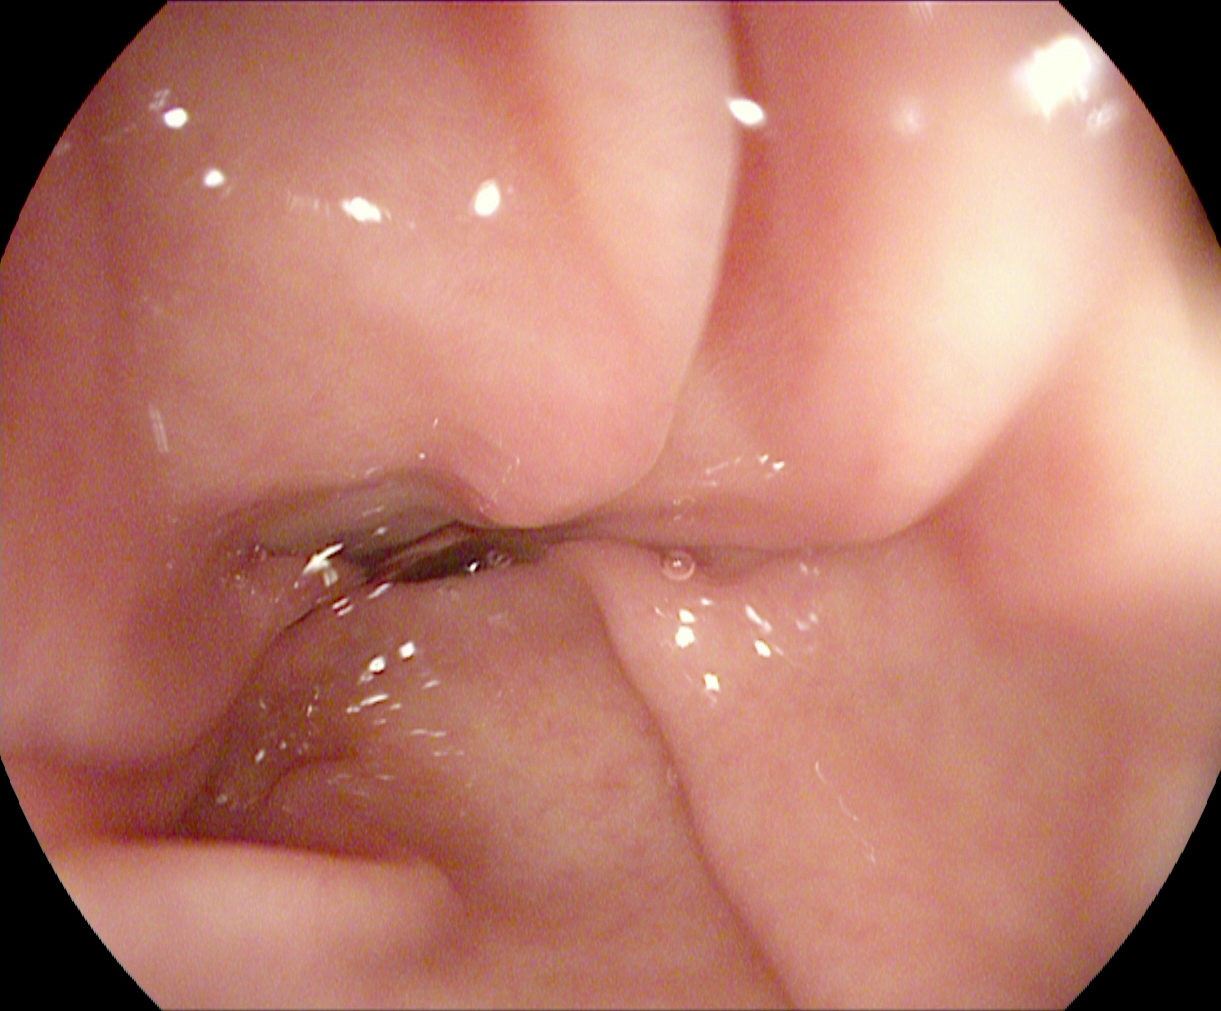PROCEDURE: Gastroscopy.
FINDINGS: Pylorus.